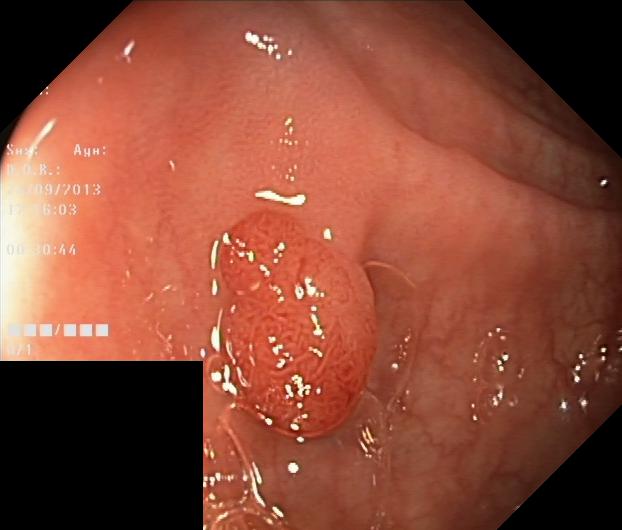Lower gastrointestinal endoscopy. Tract: lower GI tract. Finding: colorectal polyp(s).